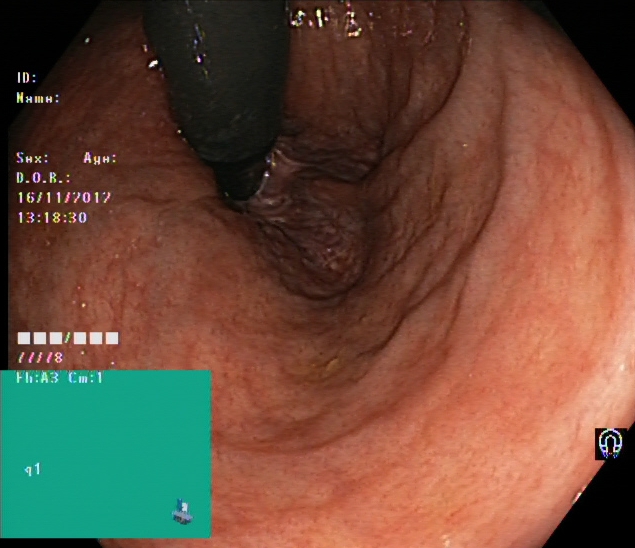Rectum in retroflexion.